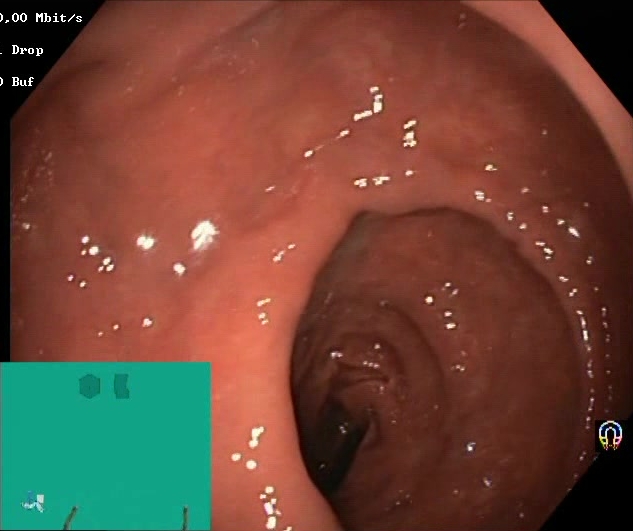GI endoscopy image of the lower GI tract showing Boston Bowel Preparation Scale score 2–3 (adequate preparation).